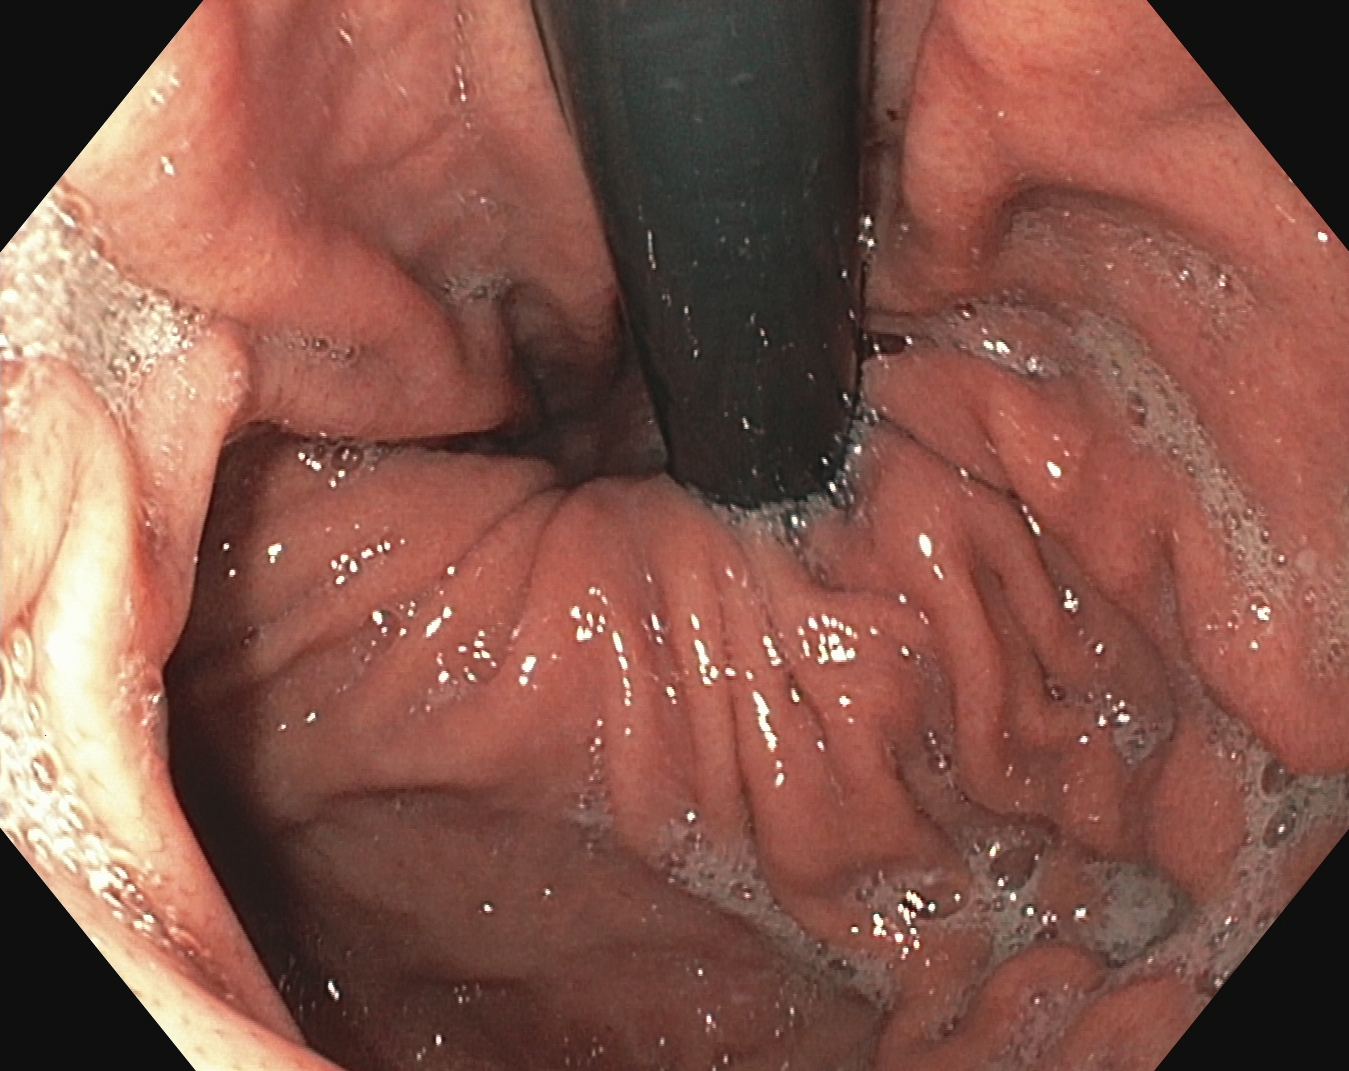Endoscopic image of the upper GI tract showing stomach in retroflexion.